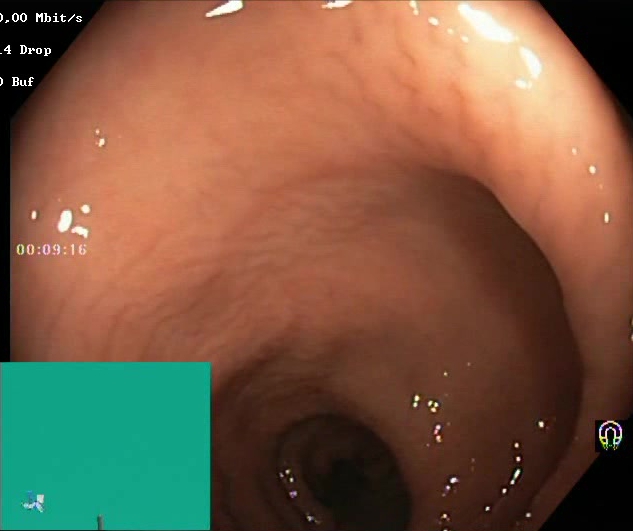Endoscopy image of the lower GI tract showing Boston Bowel Preparation Scale score 2–3 (adequate preparation).